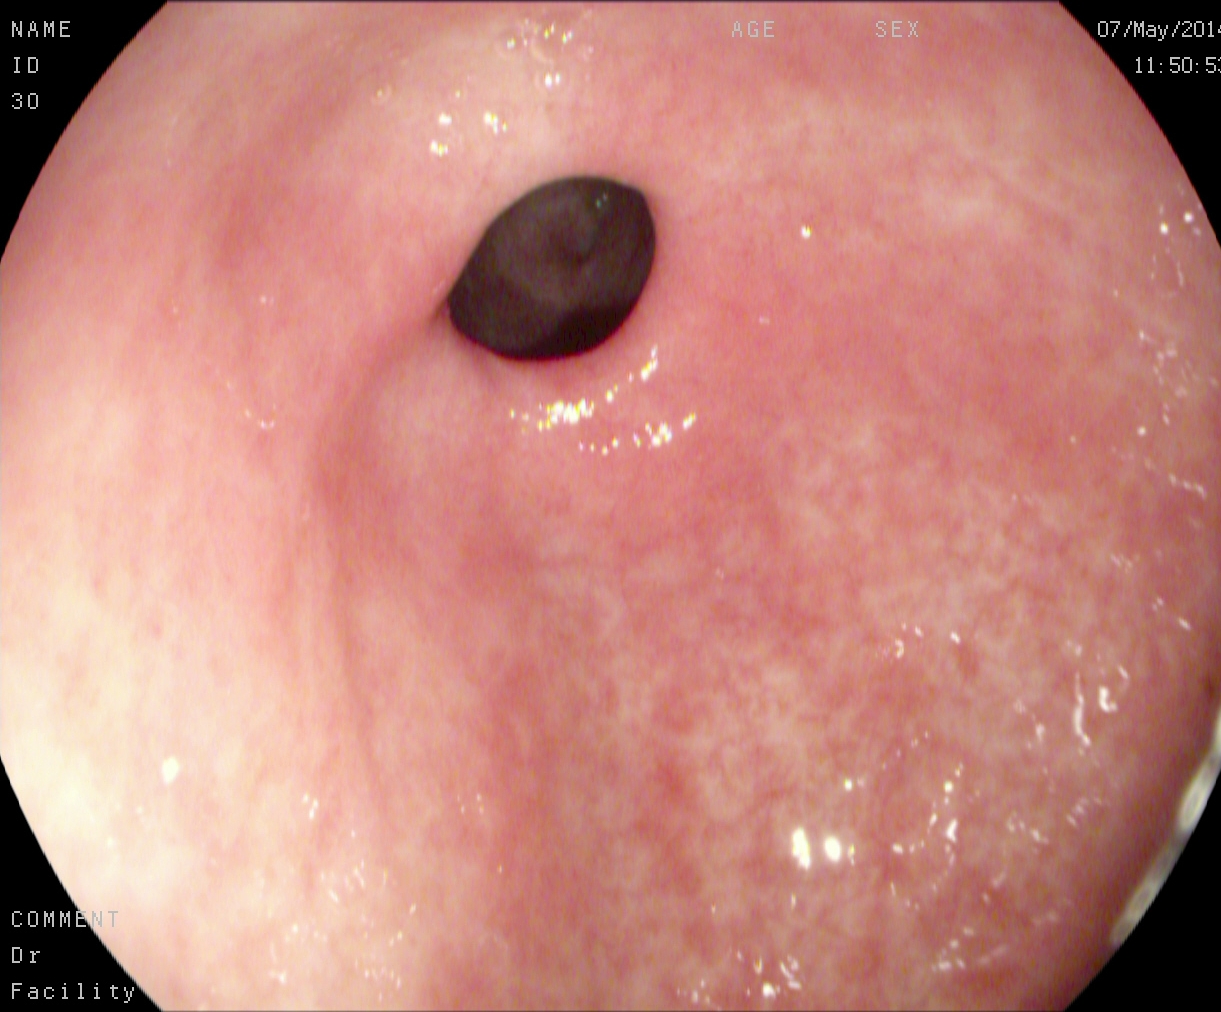Pylorus.